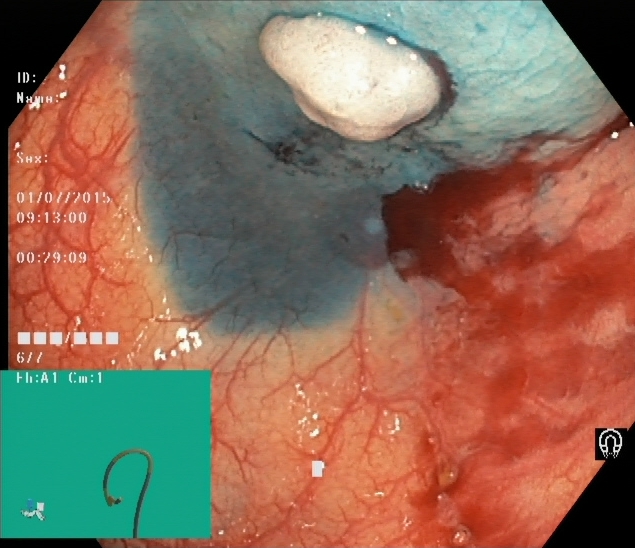This endoscopic image of the lower GI tract shows dyed and lifted polyp (pre-resection).